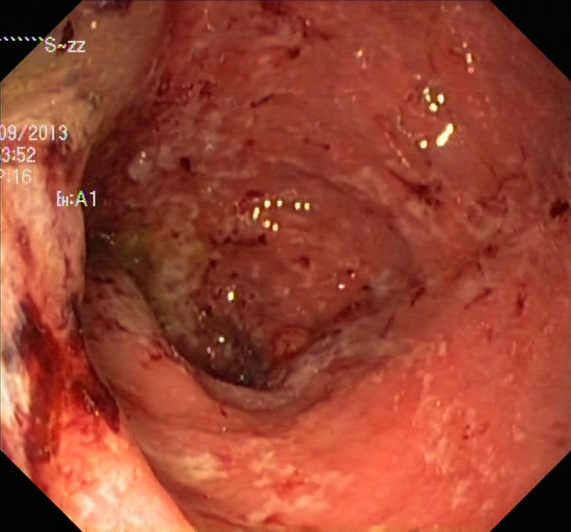This endoscopic image shows ulcerative colitis, Mayo endoscopic subscore 3.